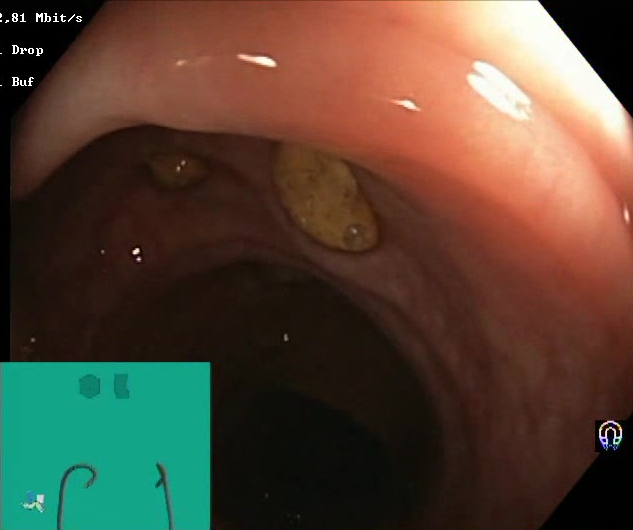PROCEDURE: Lower gastrointestinal endoscopy.
FINDINGS: Impacted stool.